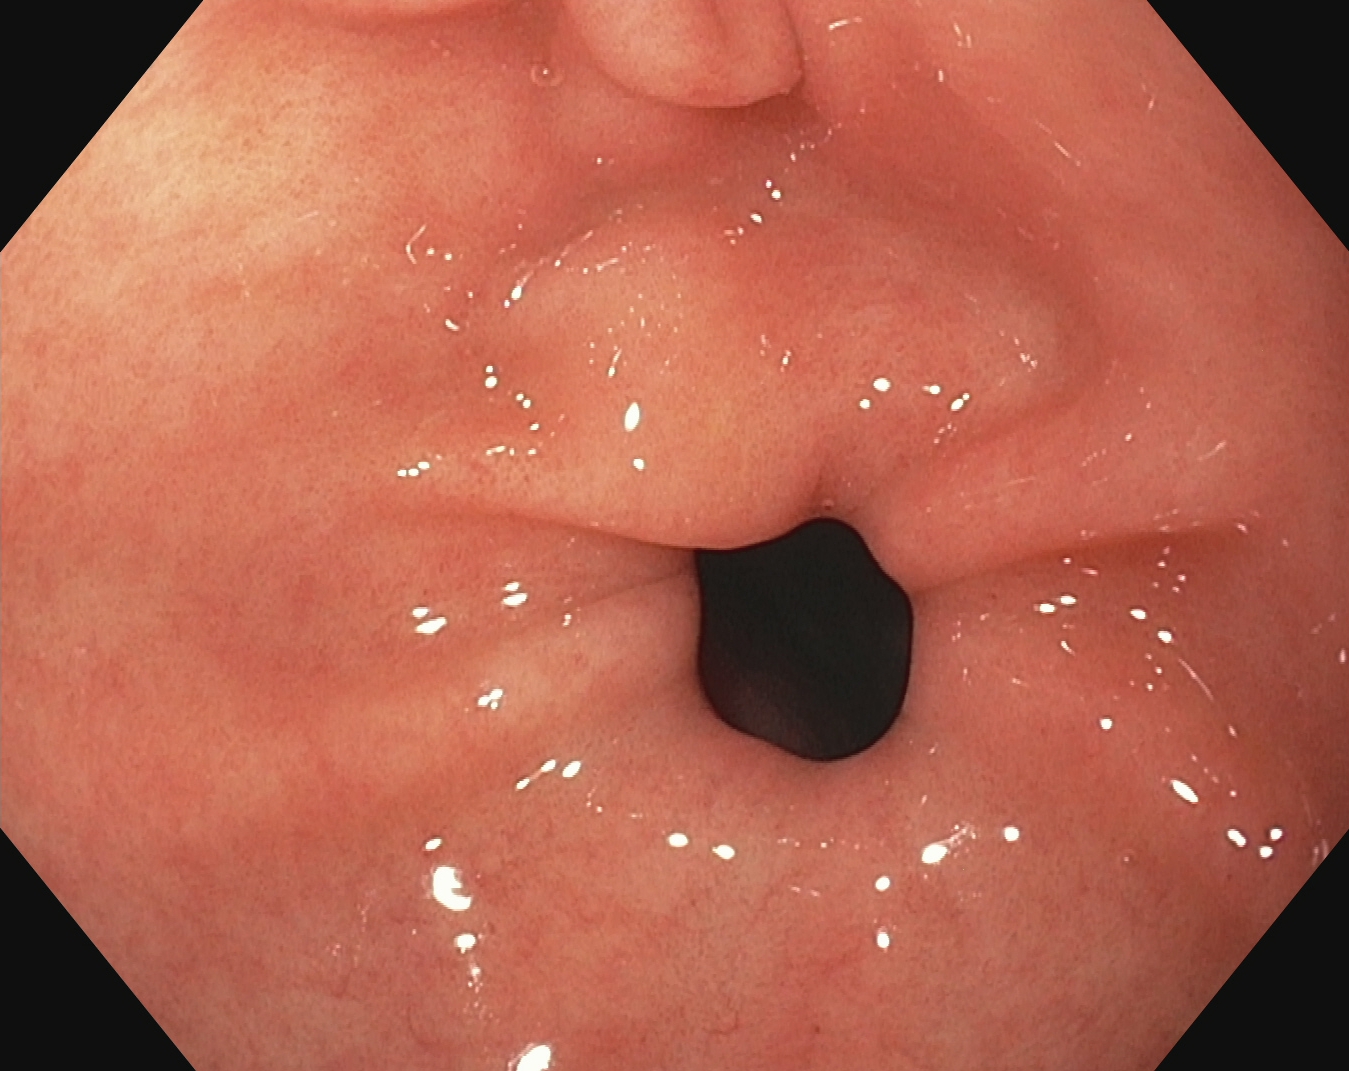PROCEDURE: Gastroscopy.
FINDINGS: Pylorus.